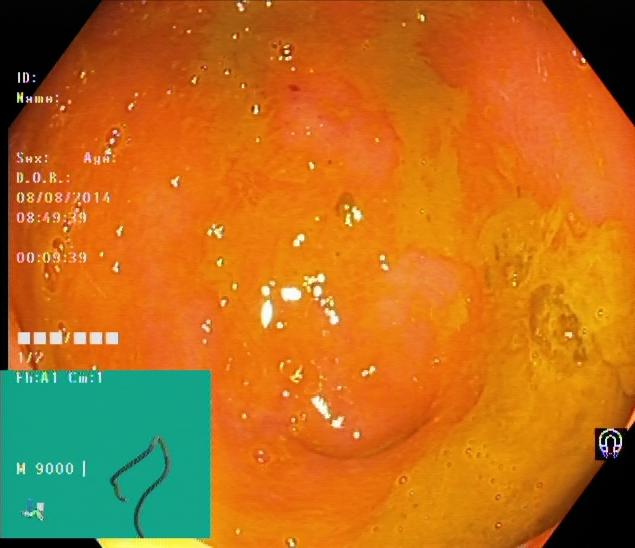This endoscopy frame of the lower GI tract shows cecum.